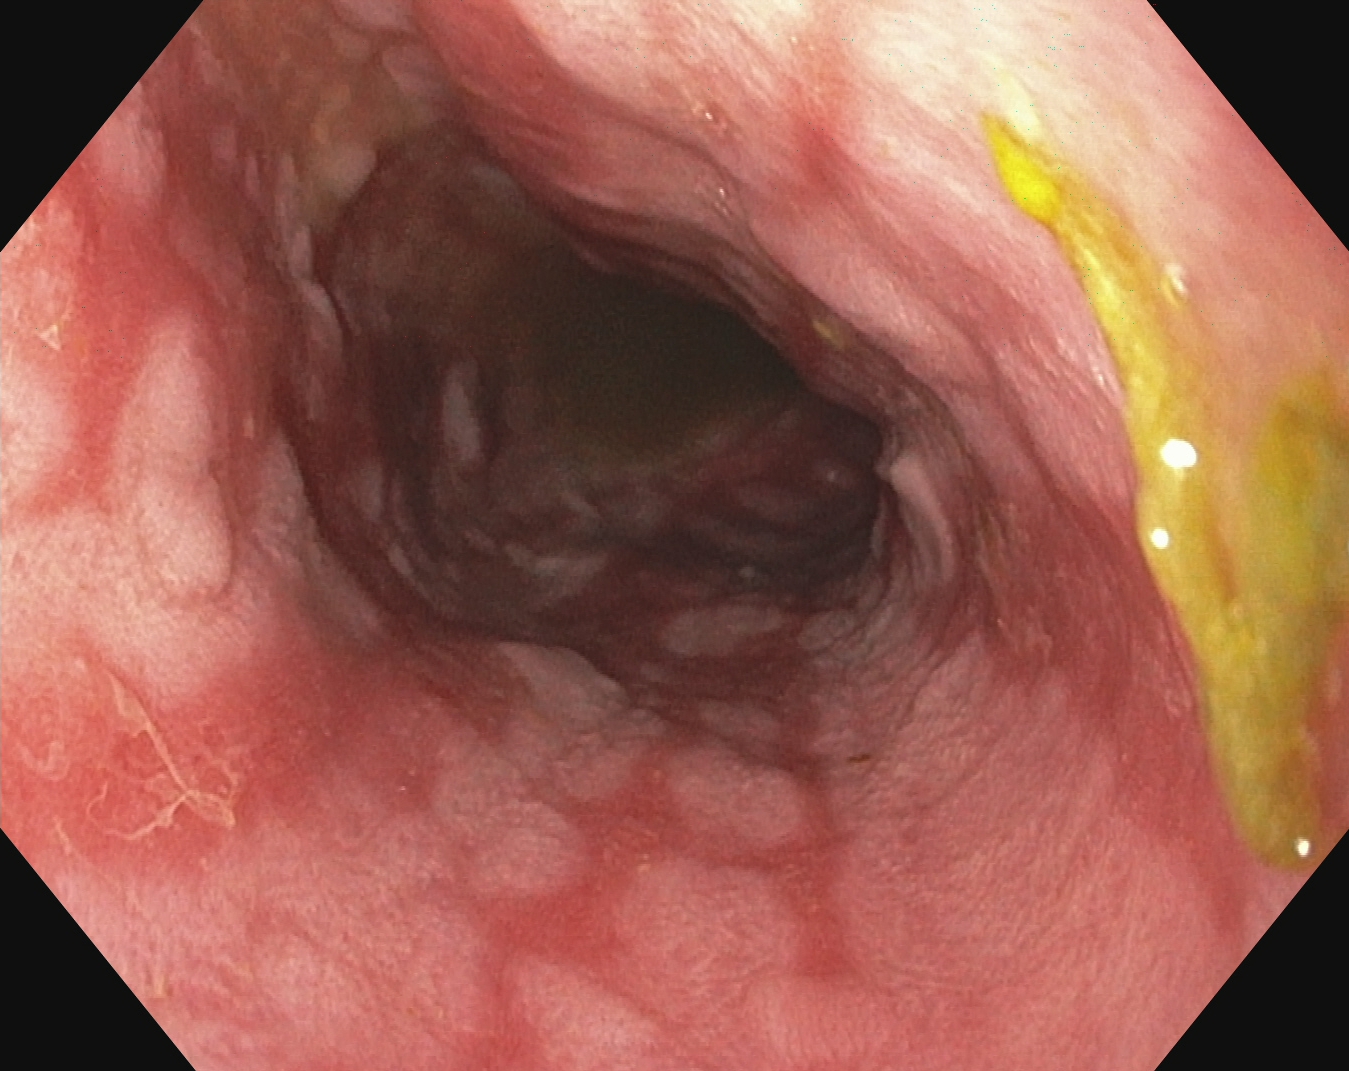Reflux esophagitis, Los Angeles grade B–D.